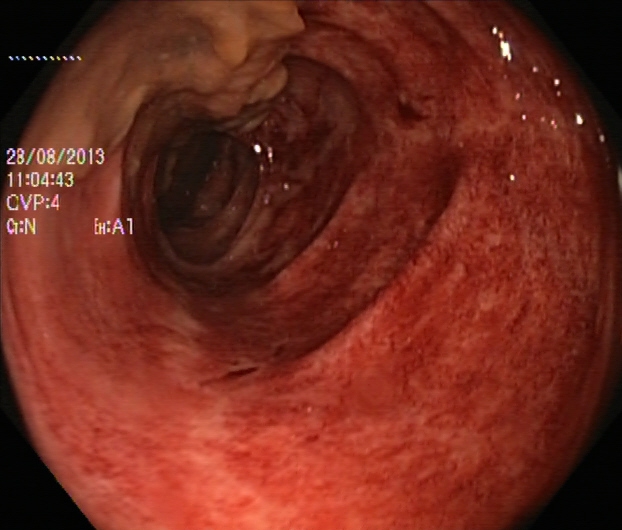This endoscopic image shows Boston Bowel Preparation Scale score 0–1 (inadequate preparation).